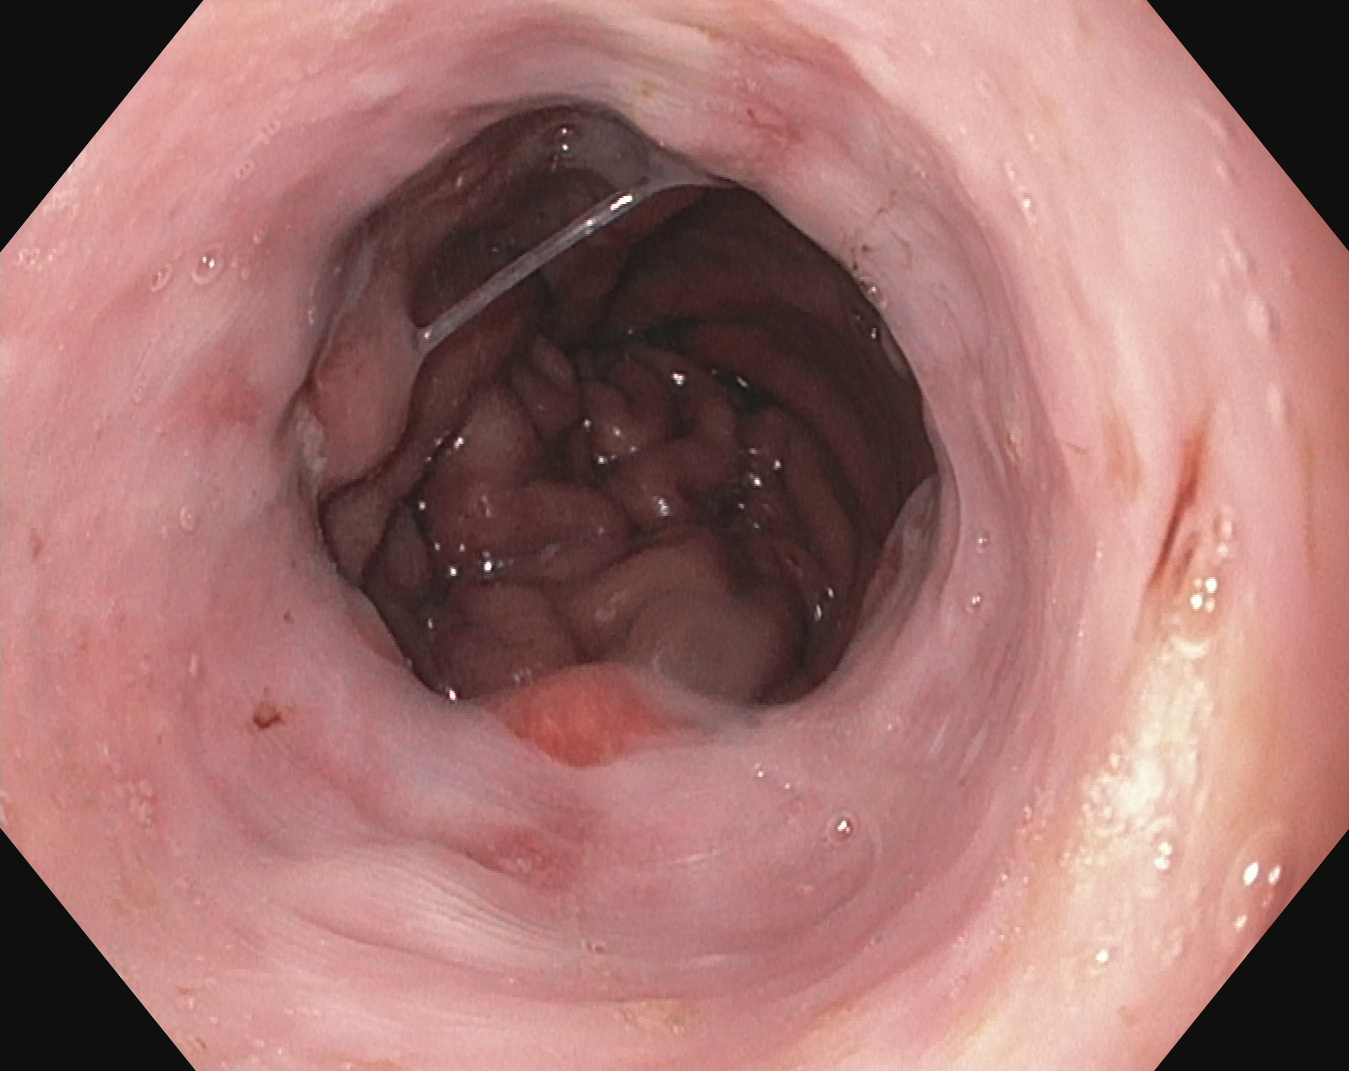EGD image of the upper GI tract showing reflux esophagitis, LA grade A.